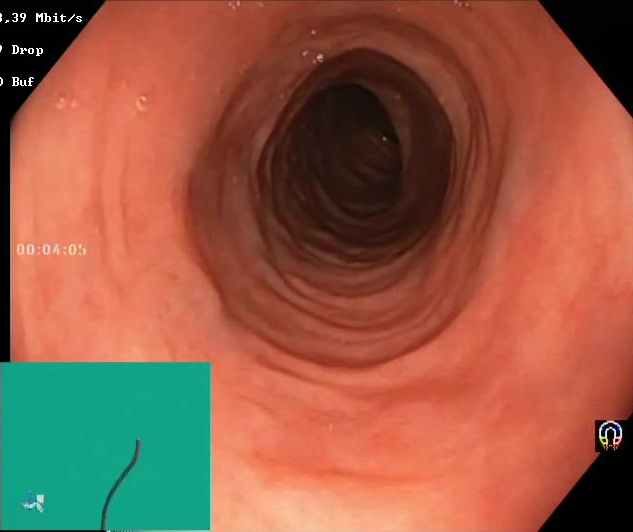modality: lower gastrointestinal endoscopy | tract: lower GI tract | finding: Boston Bowel Preparation Scale score 2–3 (adequate preparation)